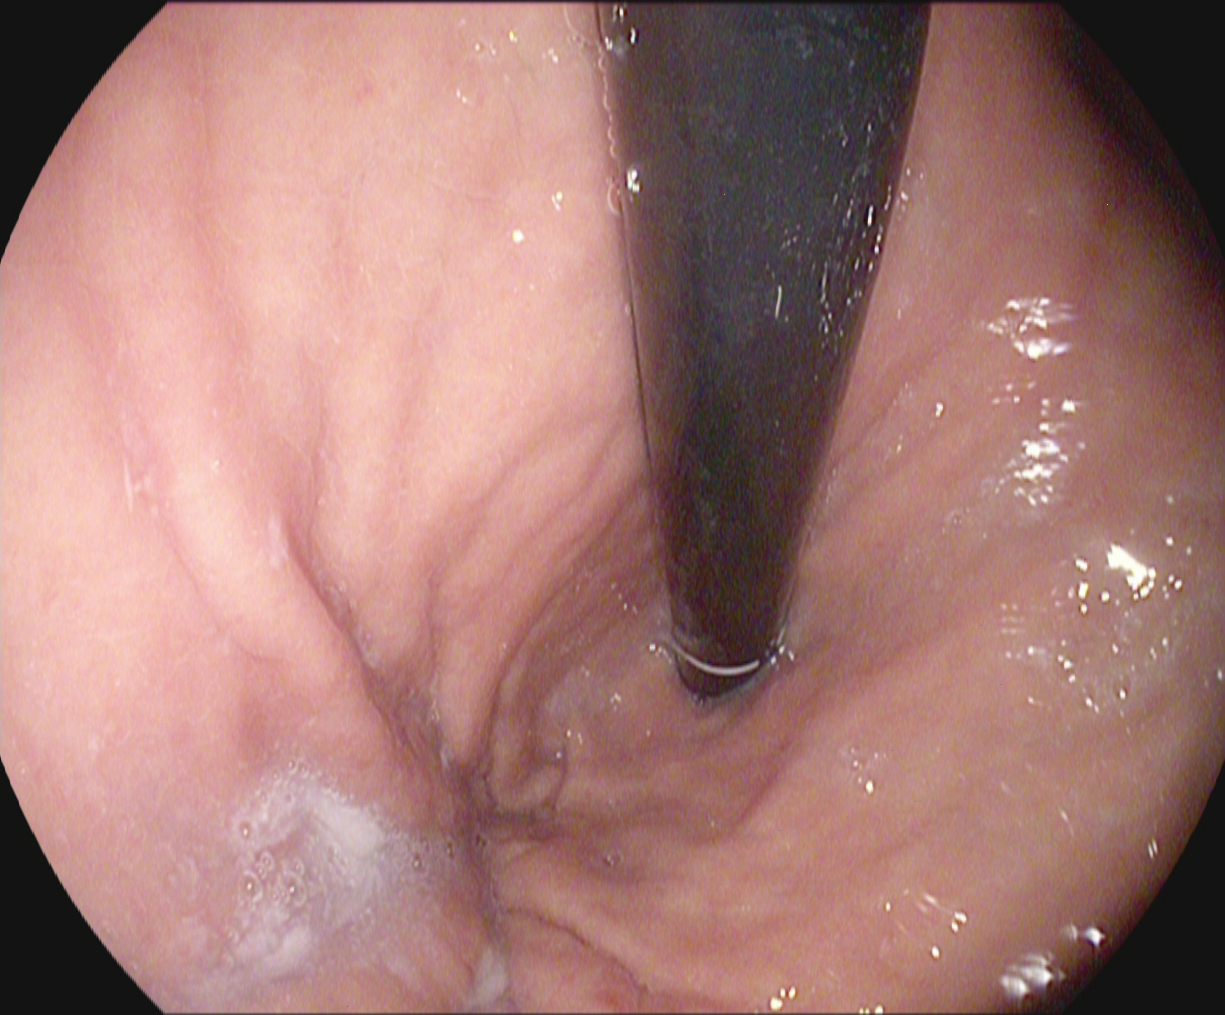stomach in retroflexion.